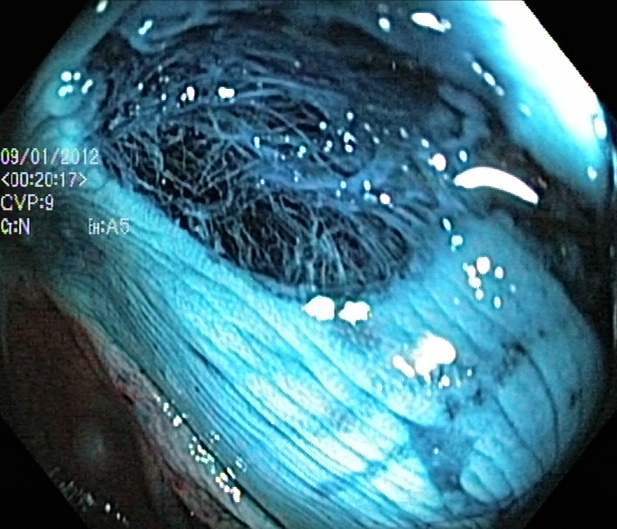This endoscopy frame of the lower GI tract shows dyed resection margins (post-polypectomy).